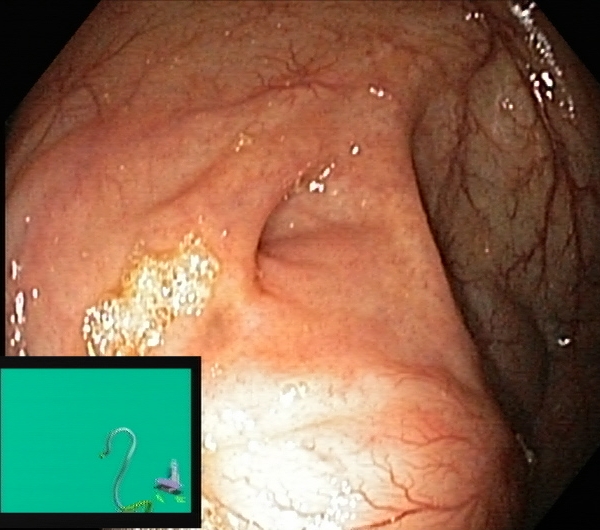Endoscopic image showing cecum.